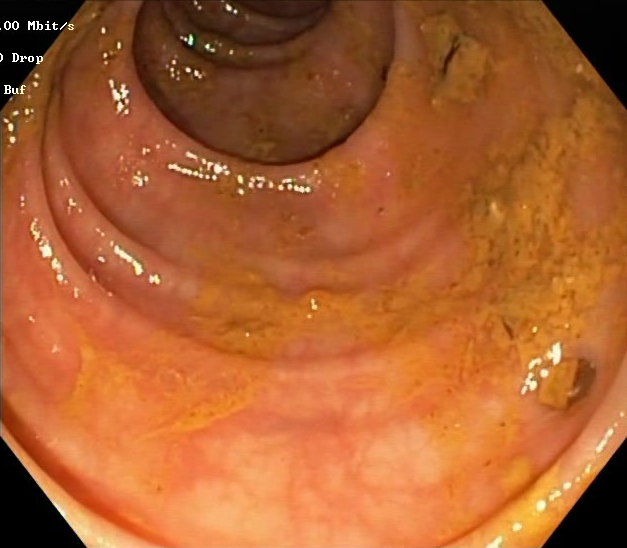Lower-GI endoscopy — Boston Bowel Preparation Scale score 0–1 (inadequate preparation).